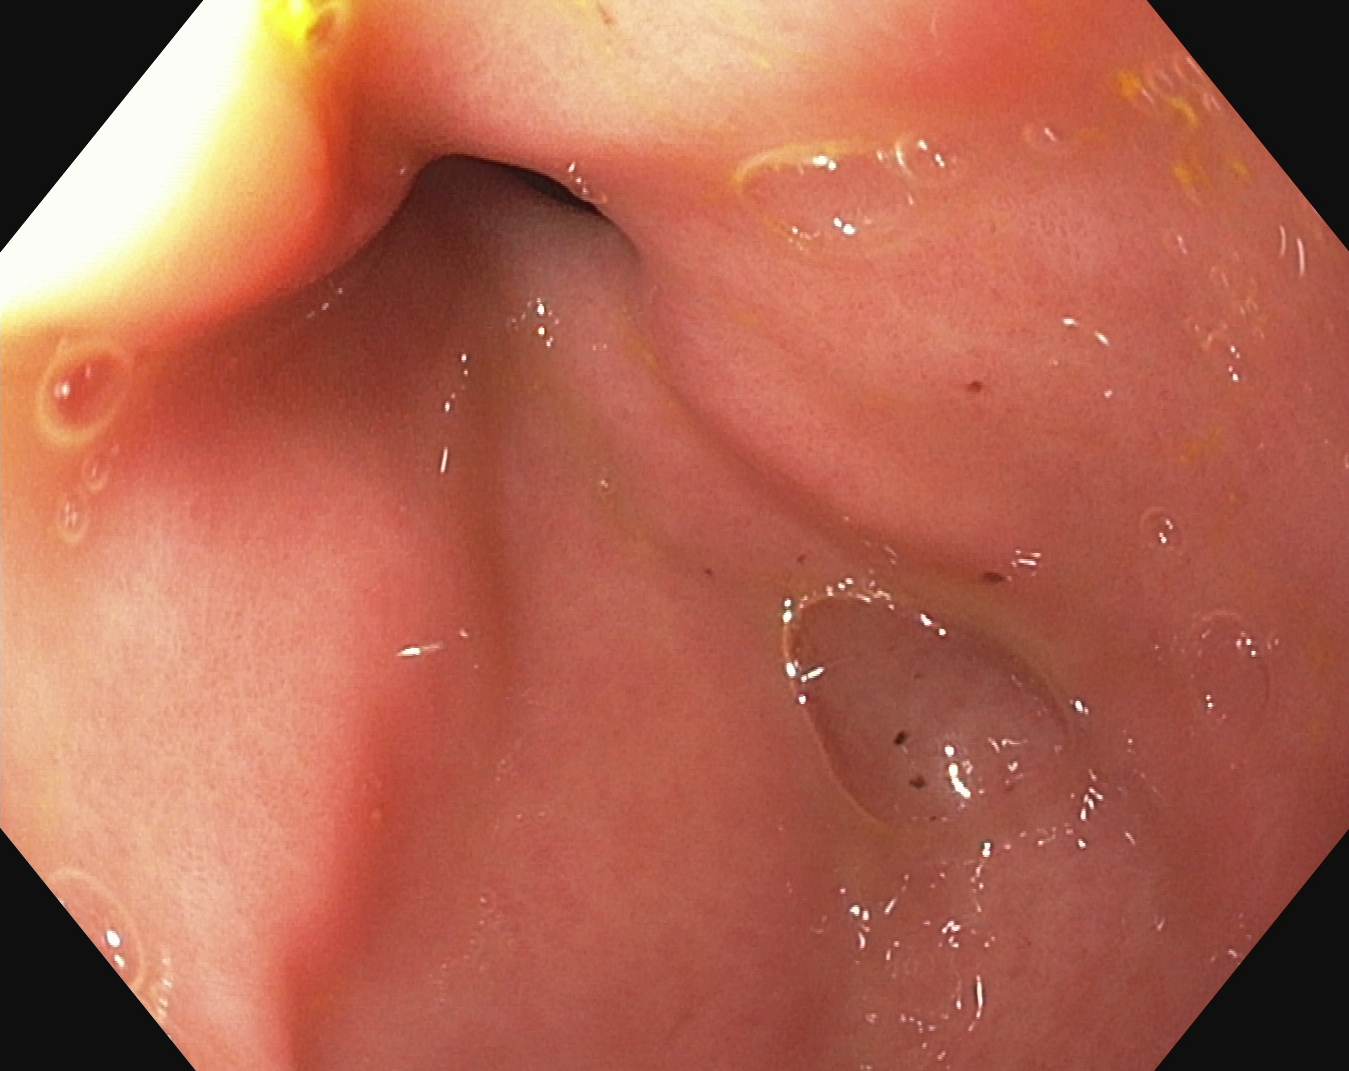modality: esophagogastroduodenoscopy; finding: pylorus